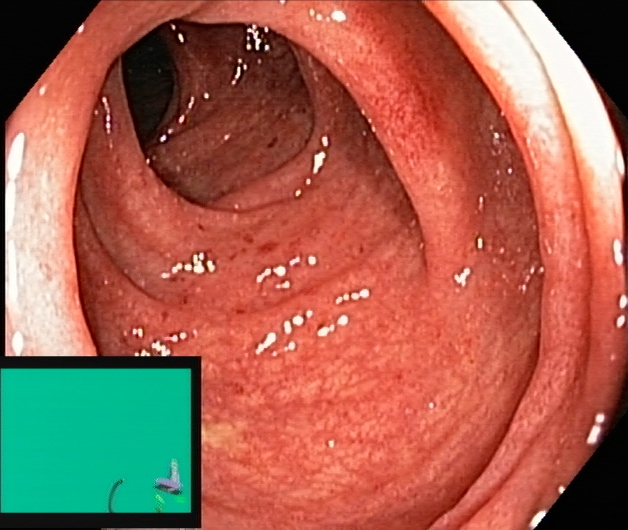Ulcerative colitis, Mayo endoscopic subscore 1.